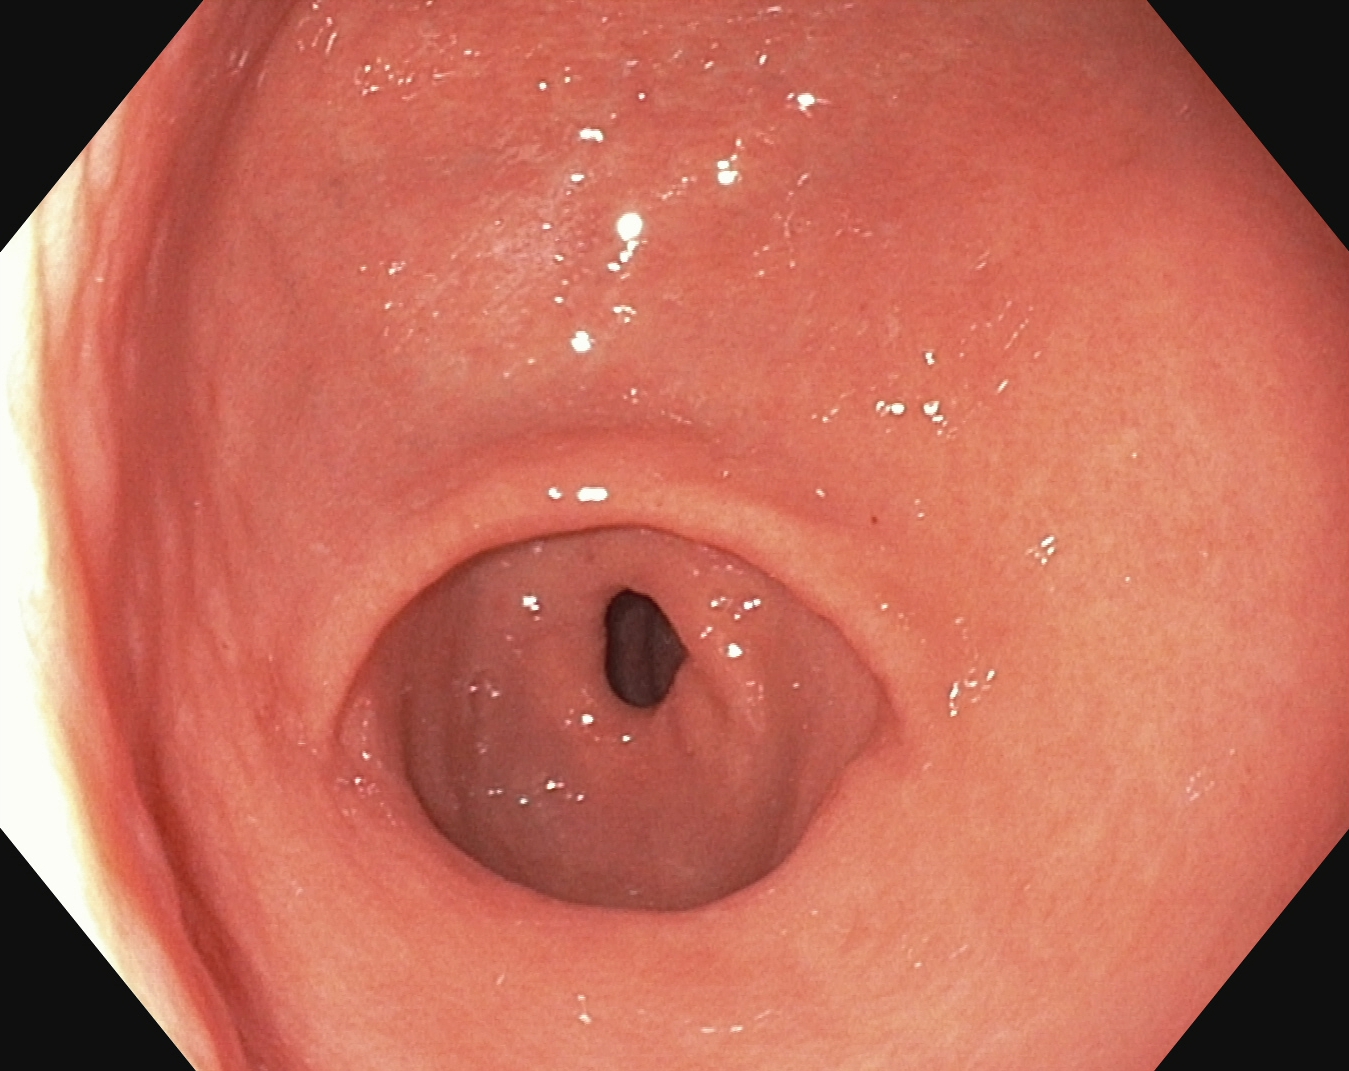This endoscopic image shows pylorus.